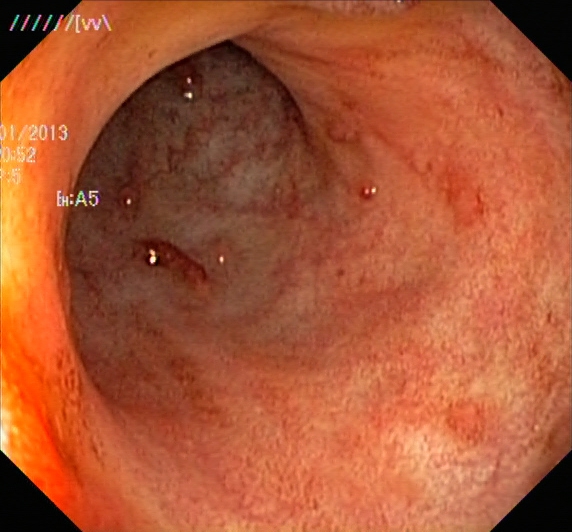UC, Mayo endoscopic subscore 2.